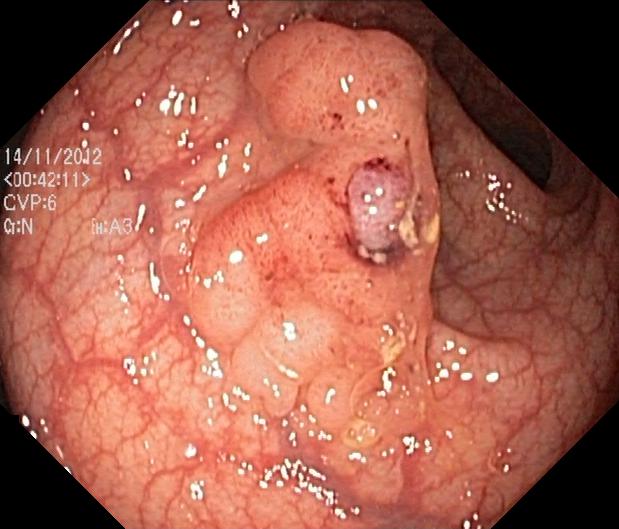GI endoscopy image showing colorectal polyp(s).